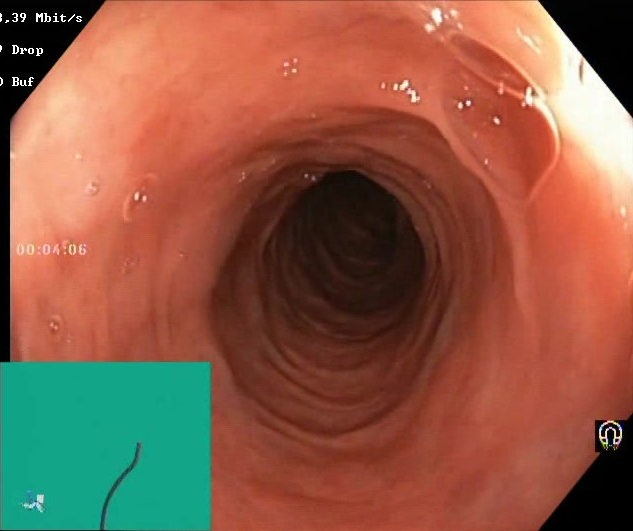modality: lower-GI endoscopy
category: mucosal-view quality
finding: Boston Bowel Preparation Scale score 2–3 (adequate preparation)